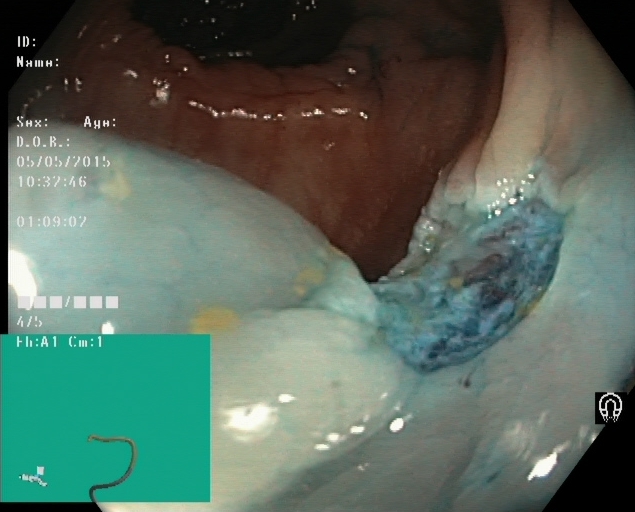Lower gastrointestinal endoscopy. Tract: lower GI tract. Therapeutic intervention. Finding: dyed resection margins (post-polypectomy).